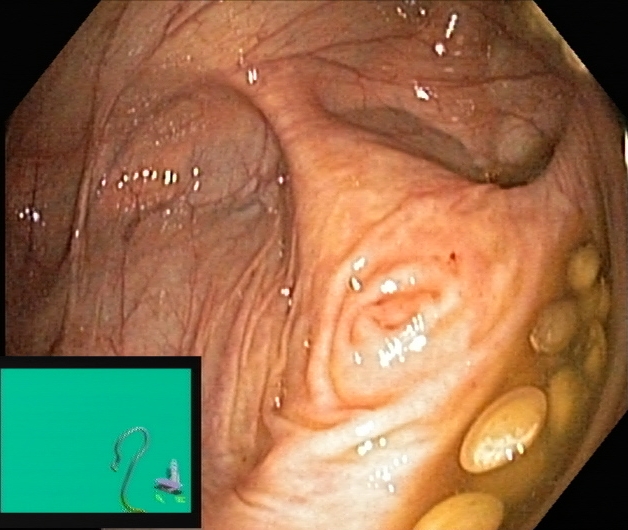This endoscopy frame of the lower GI tract shows cecum.